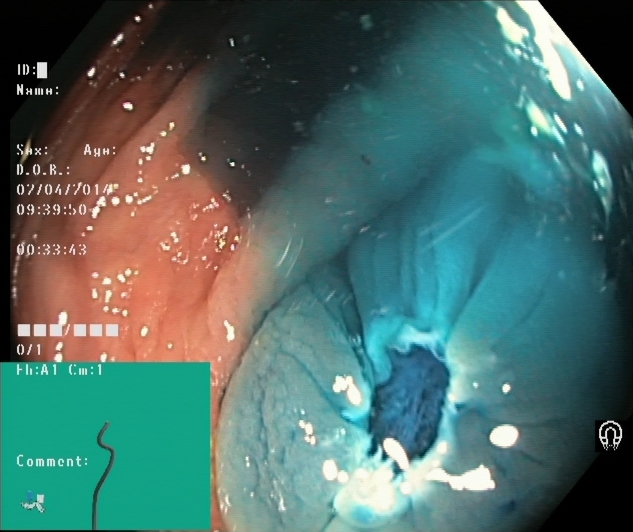This endoscopy frame shows dyed resection margins (post-polypectomy).